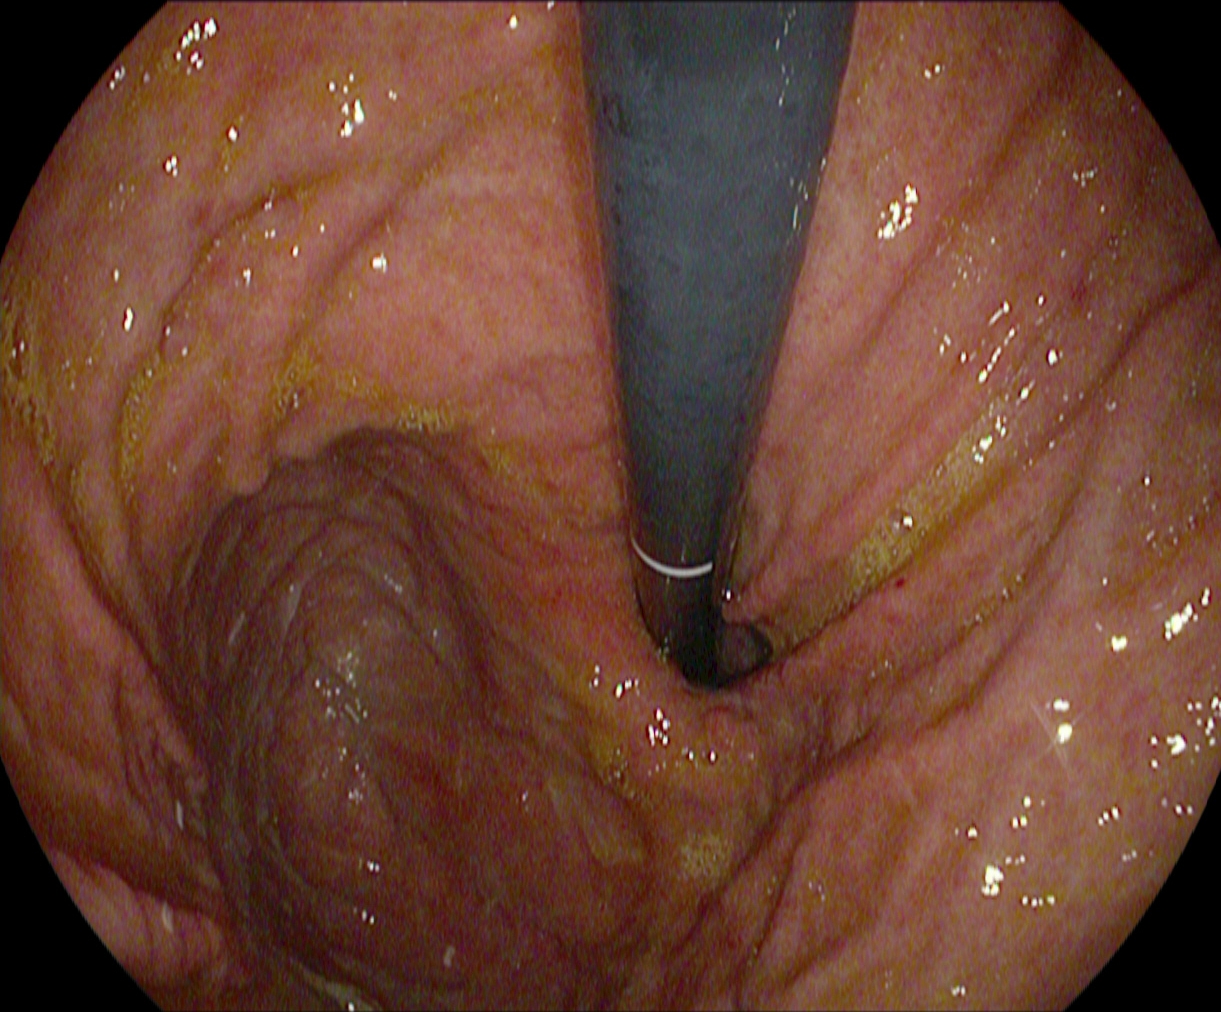{"modality": "upper-GI endoscopy", "tract": "upper GI tract", "category": "anatomical landmark", "finding": "stomach in retroflexion"}